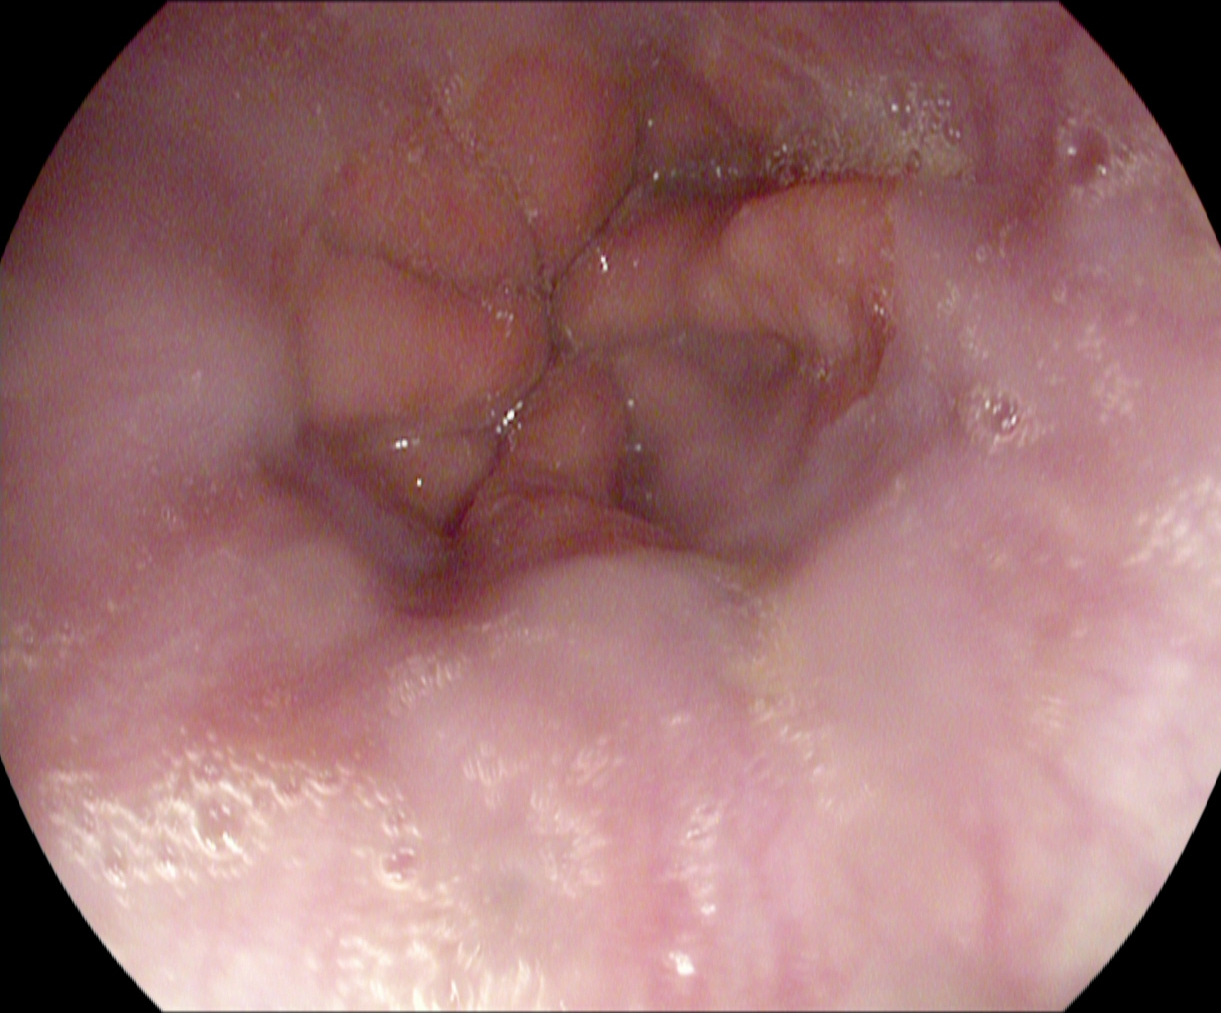EGD. Tract: upper GI tract. Finding: Z-line (gastroesophageal junction).